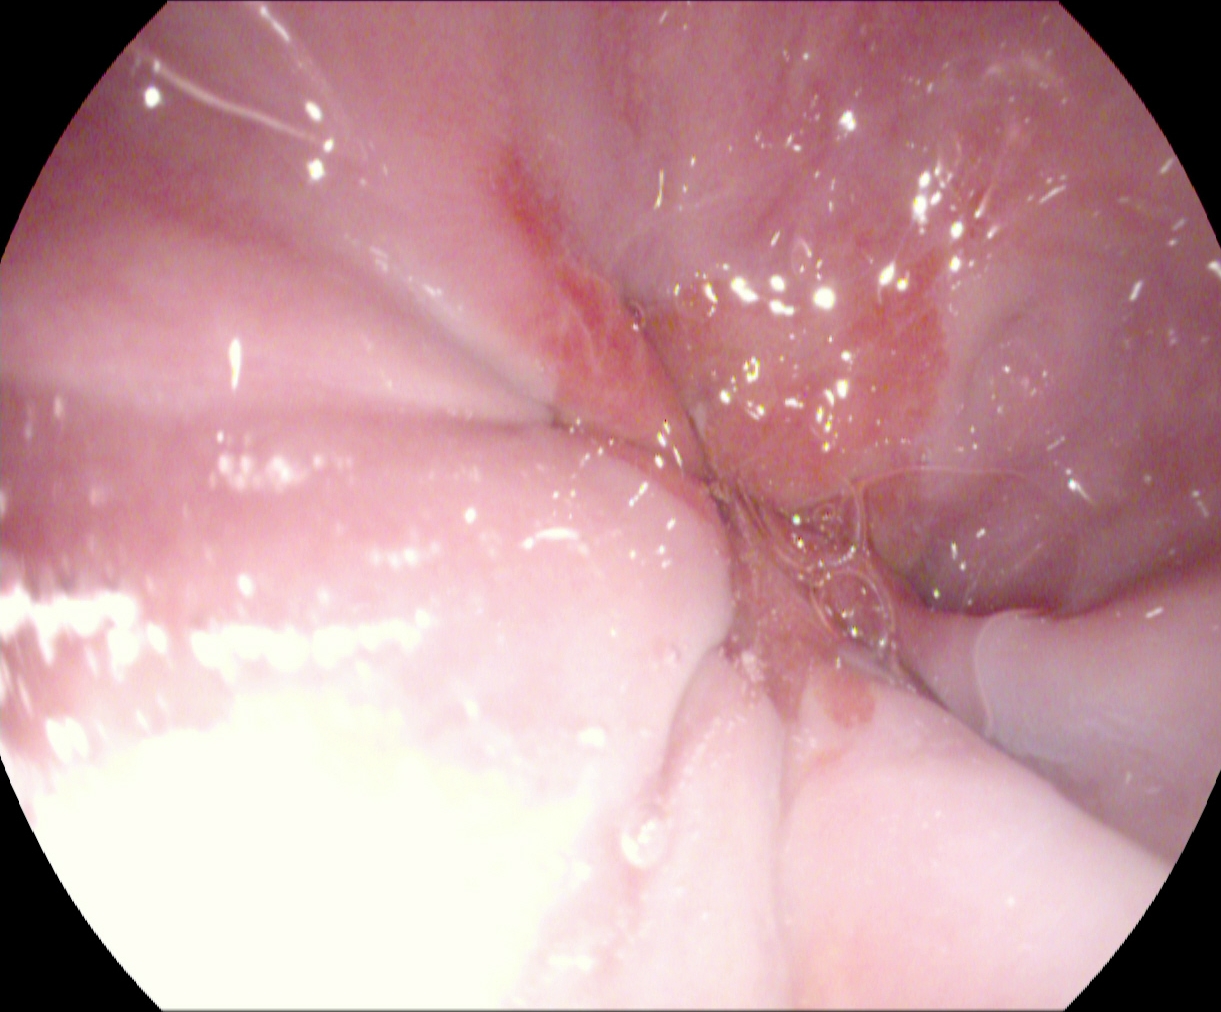{"modality": "gastroscopy", "tract": "upper GI tract", "category": "pathological finding", "finding": "reflux esophagitis, Los Angeles grade A"}